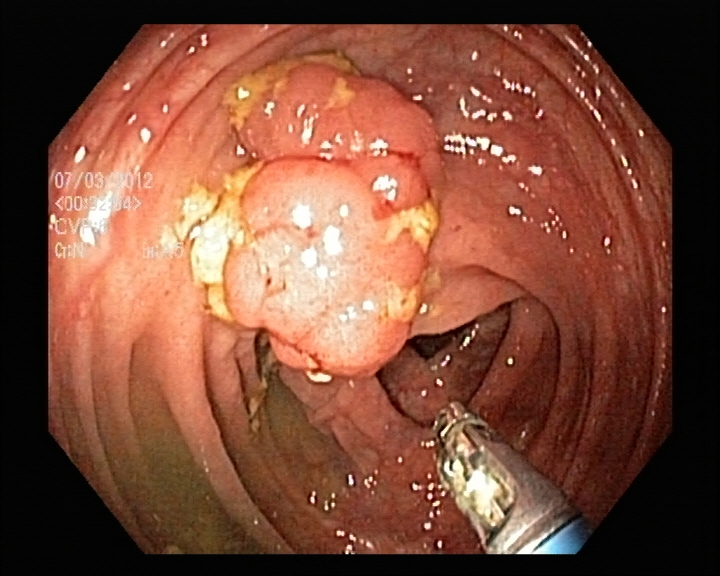Lower gastrointestinal endoscopy image of the lower GI tract showing colorectal polyp(s).